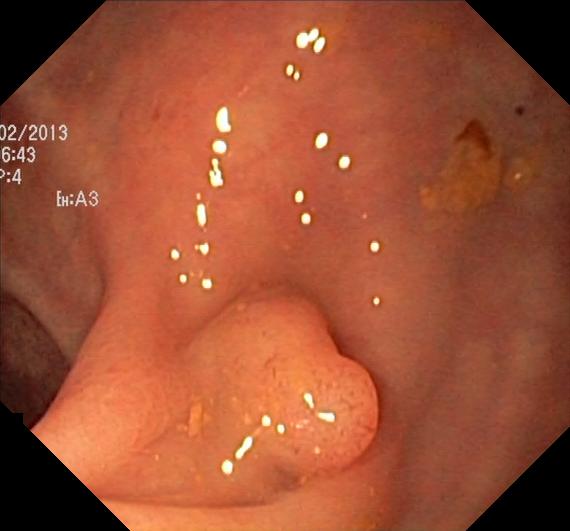{"modality": "lower gastrointestinal endoscopy", "finding": "colorectal polyp(s)"}